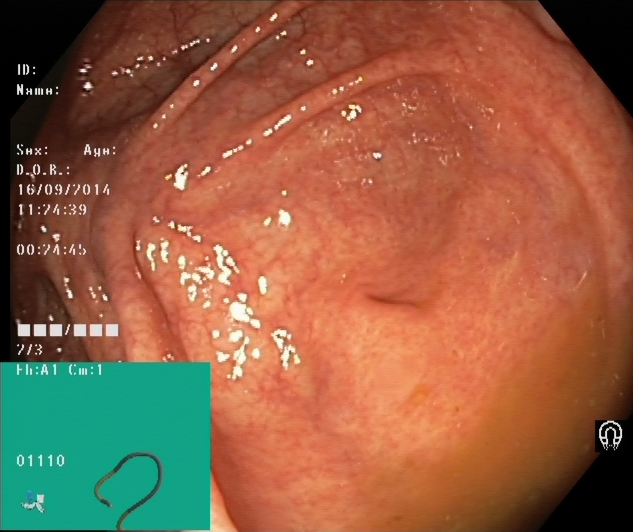Cecum.